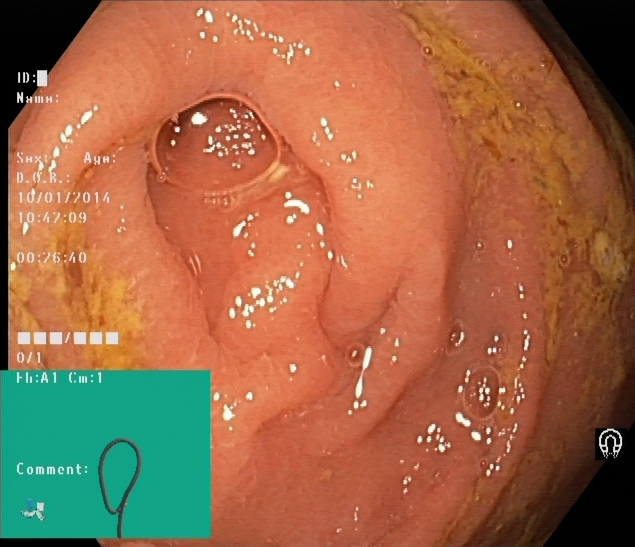PROCEDURE: Lower-GI endoscopy.
CATEGORY: Anatomical landmark.
FINDINGS: Cecum.